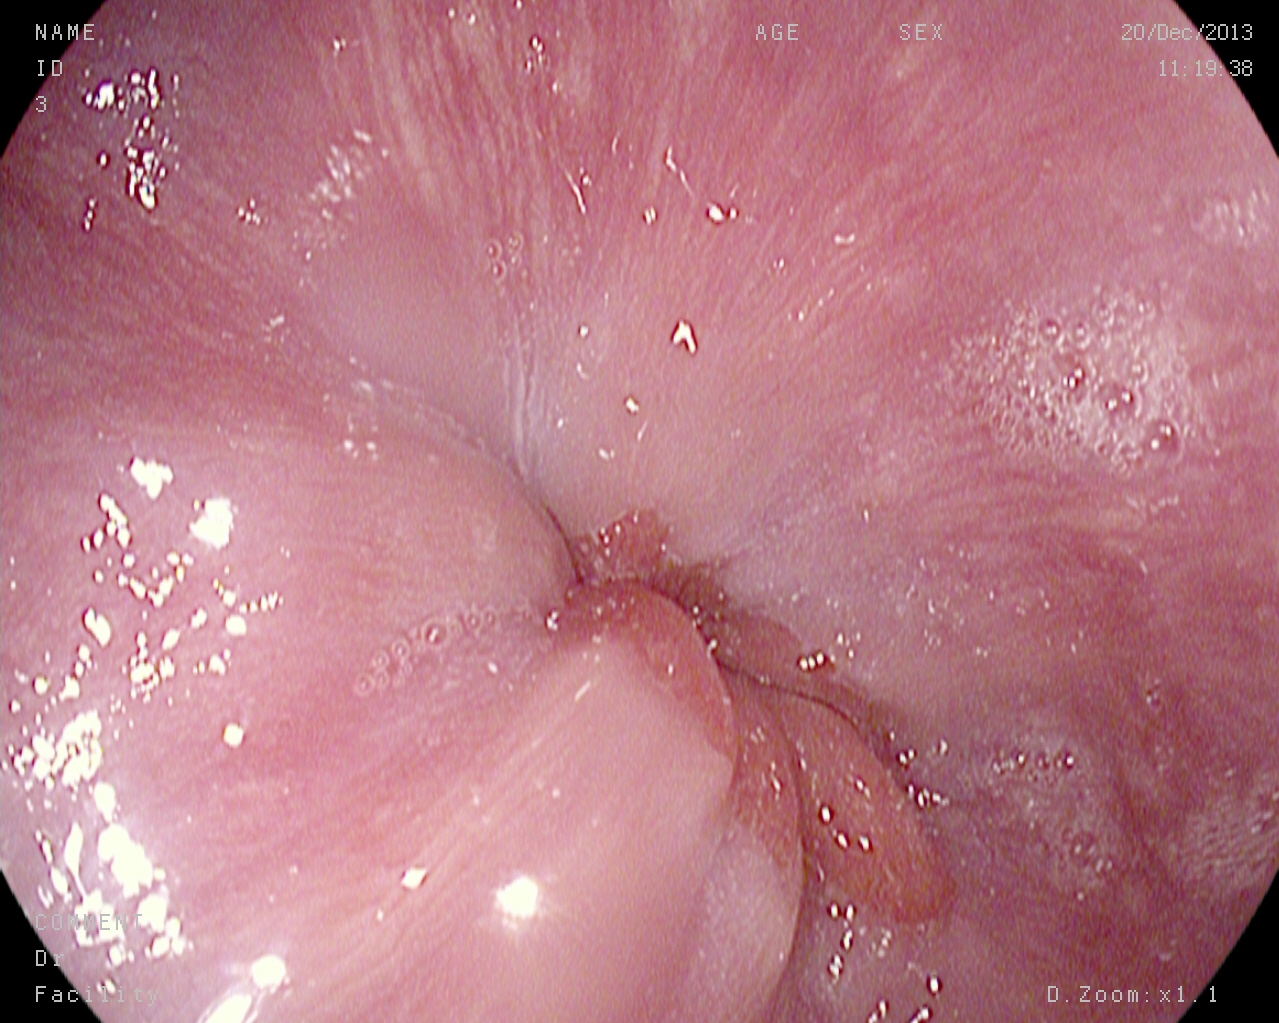Z-line (gastroesophageal junction).